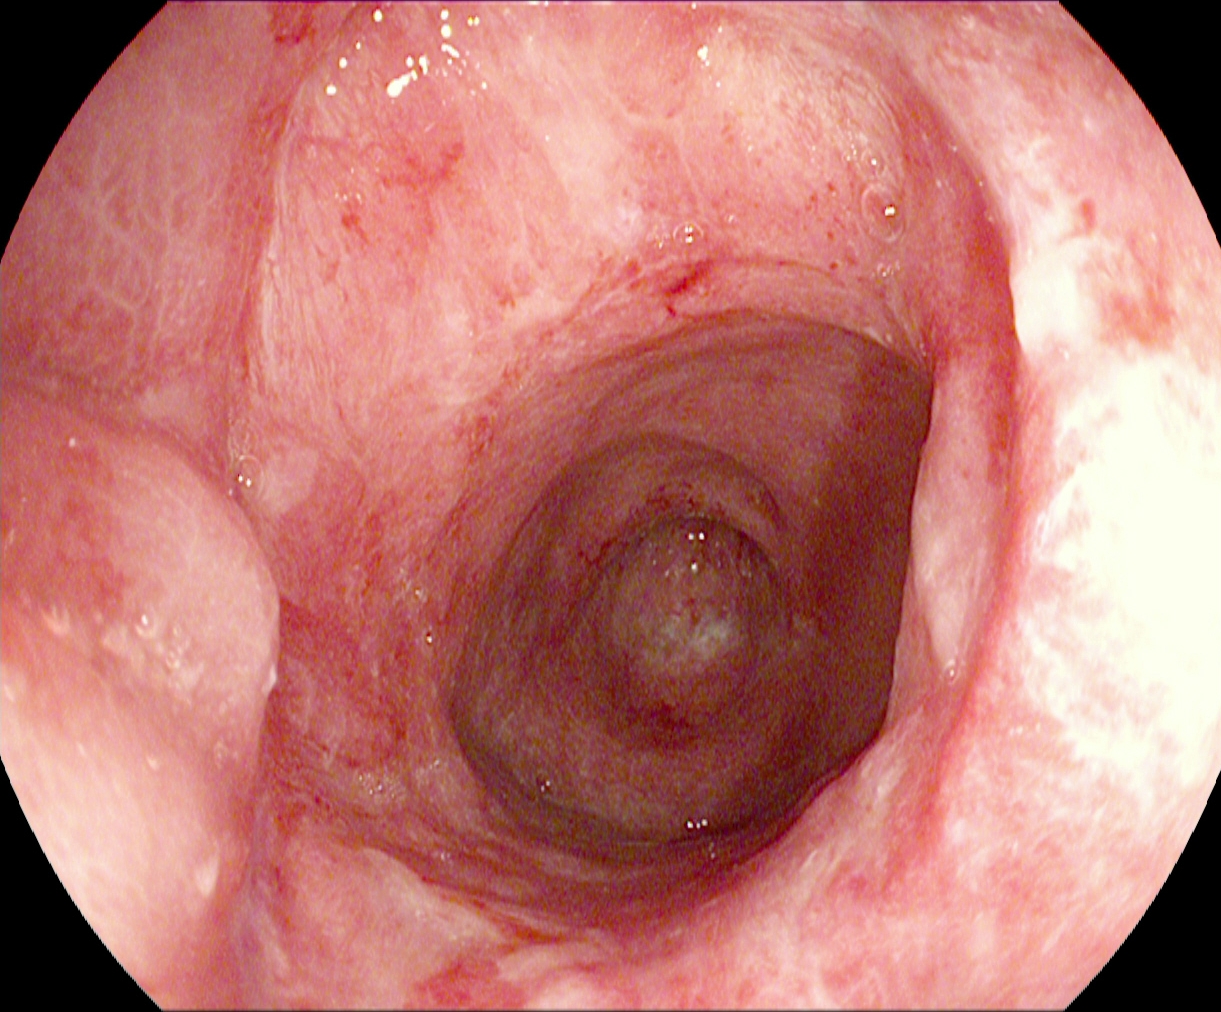Ulcerative colitis, Mayo endoscopic subscore 2.